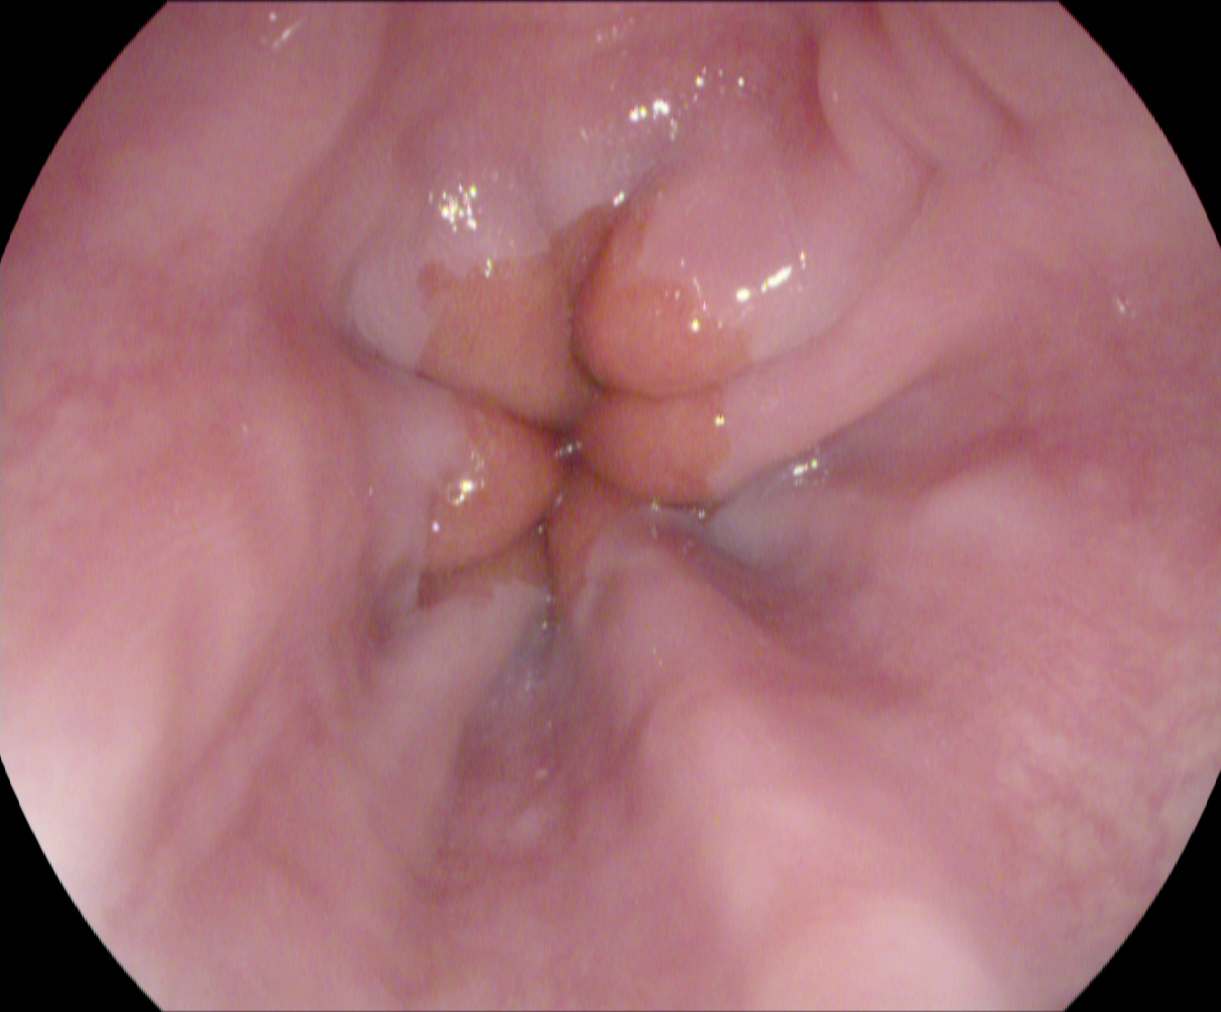Upper-GI endoscopy image of the upper GI tract showing Z-line (gastroesophageal junction).